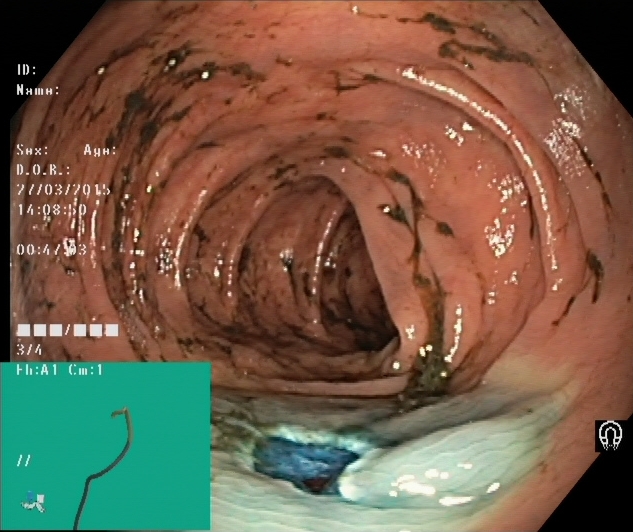modality: colonoscopy | category: therapeutic intervention | finding: dyed resection margins (post-polypectomy)